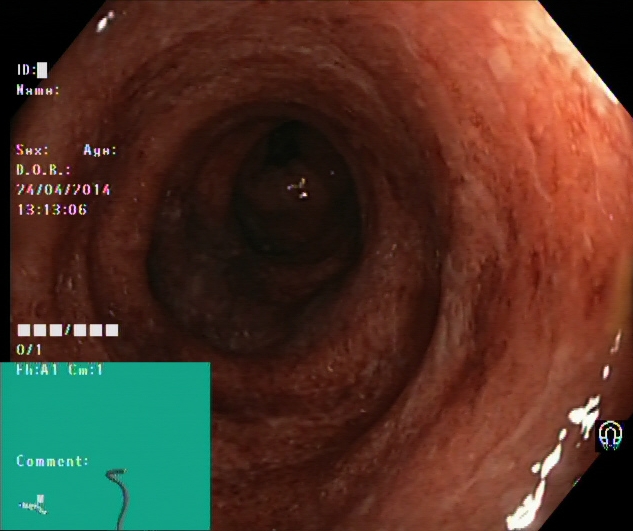Colonoscopy. Finding: ulcerative colitis, Mayo endoscopic subscore 2.